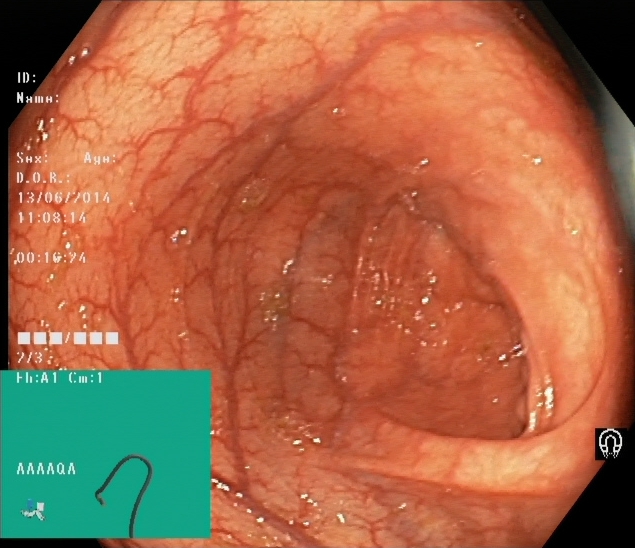Endoscopic image of the lower GI tract showing cecum.